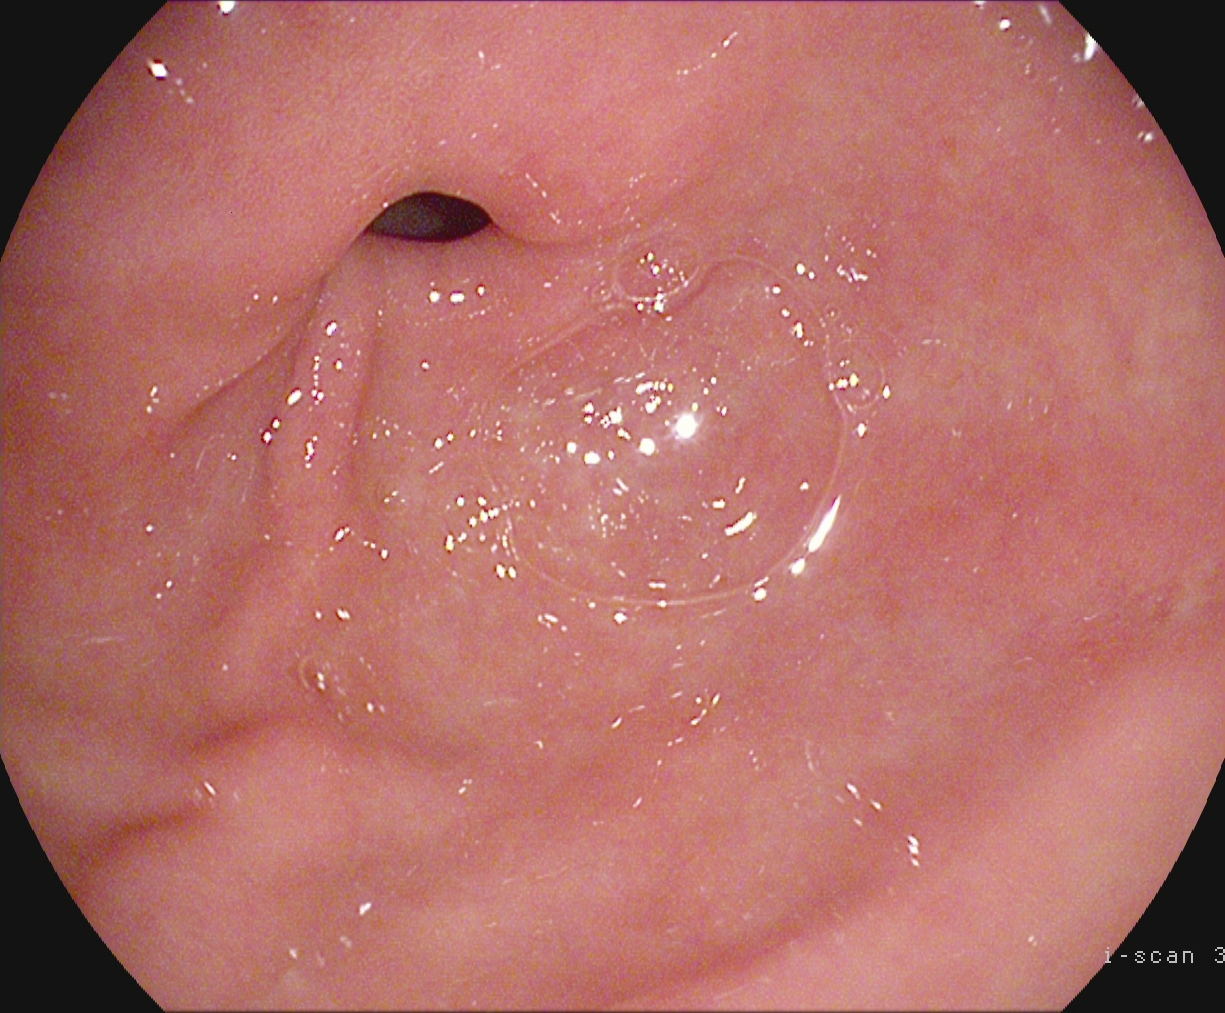Gastroscopy image showing pylorus.